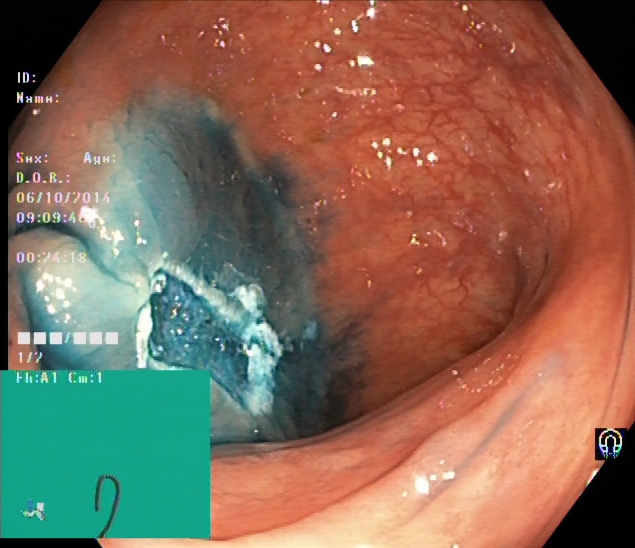Lower-GI endoscopy. Tract: lower GI tract. Therapeutic intervention. Finding: dyed resection margins (post-polypectomy).